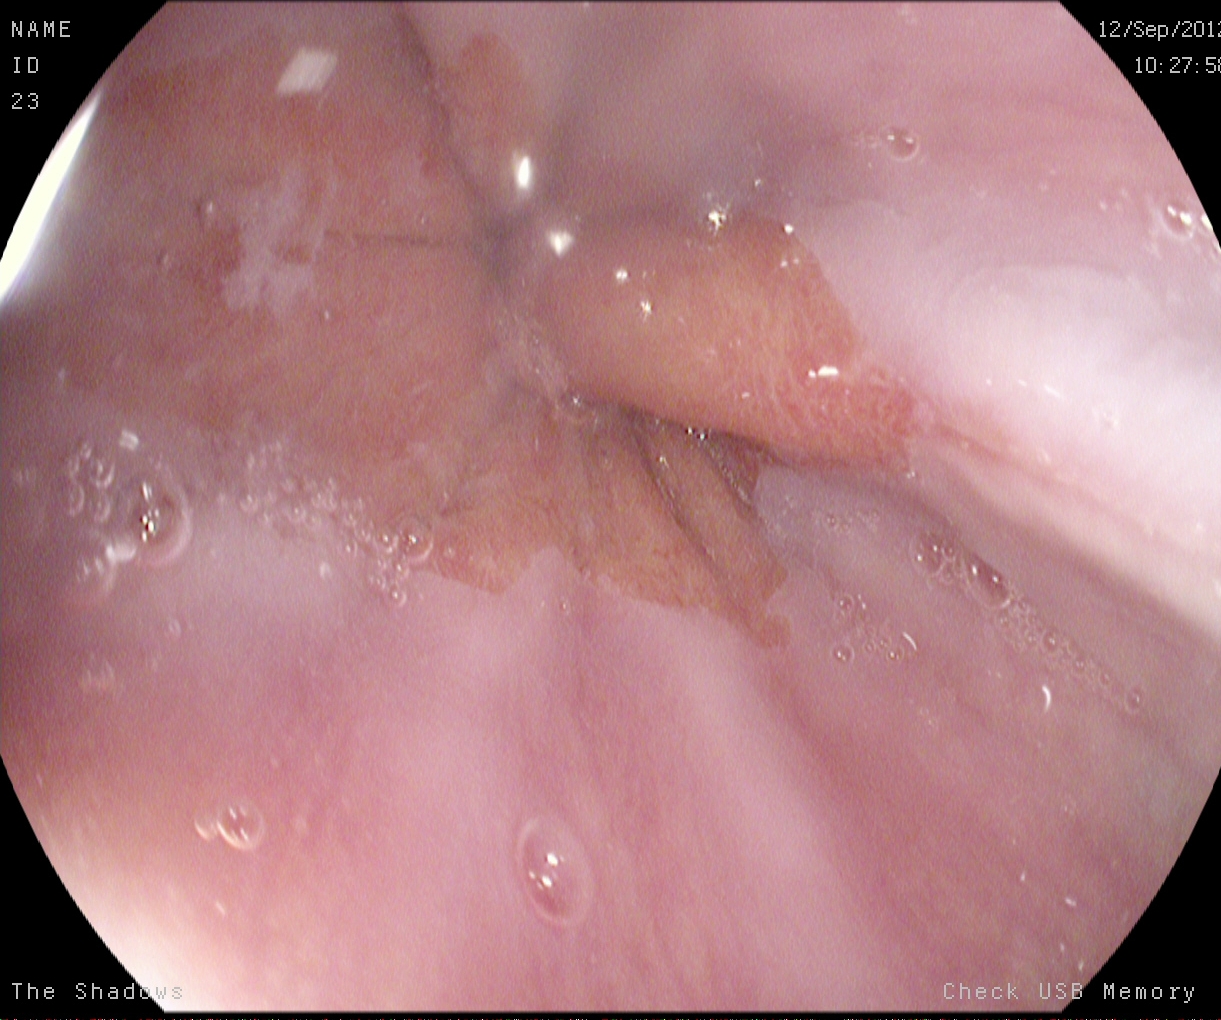Esophagogastroduodenoscopy. Anatomical landmark. Finding: Z-line (gastroesophageal junction).